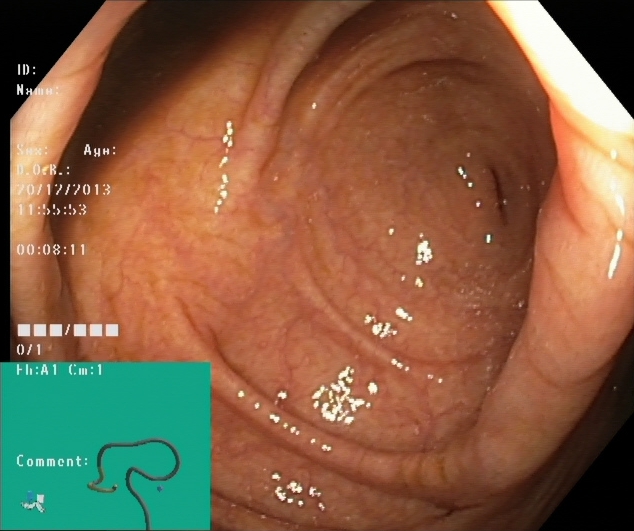modality: lower-GI endoscopy; tract: lower GI tract; finding: cecum